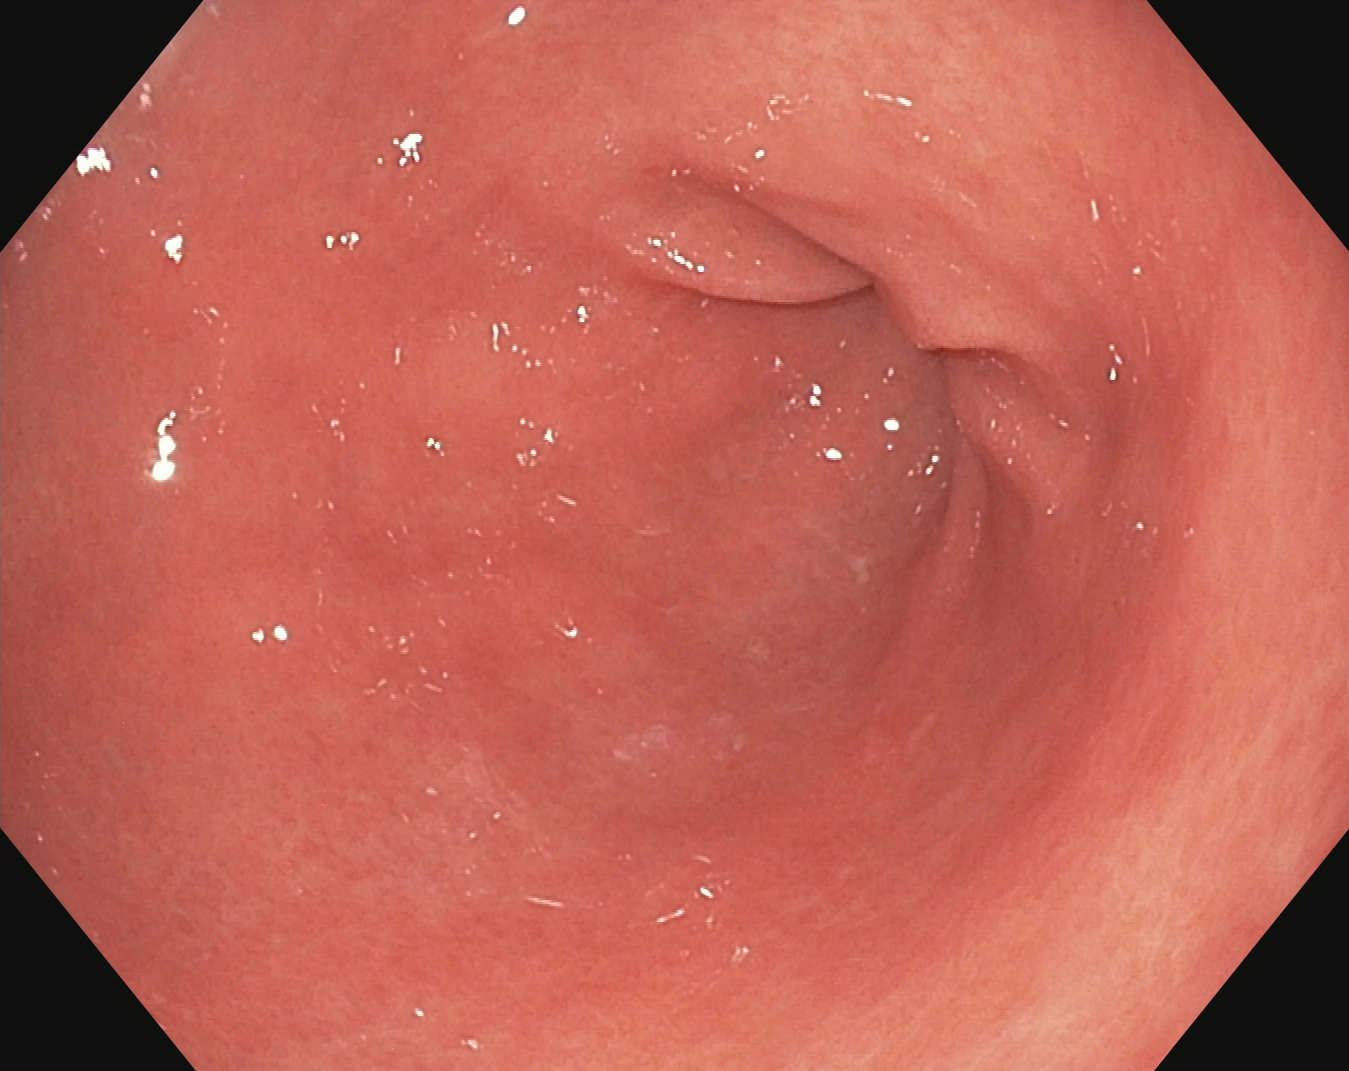Endoscopy image of the upper GI tract showing pylorus.